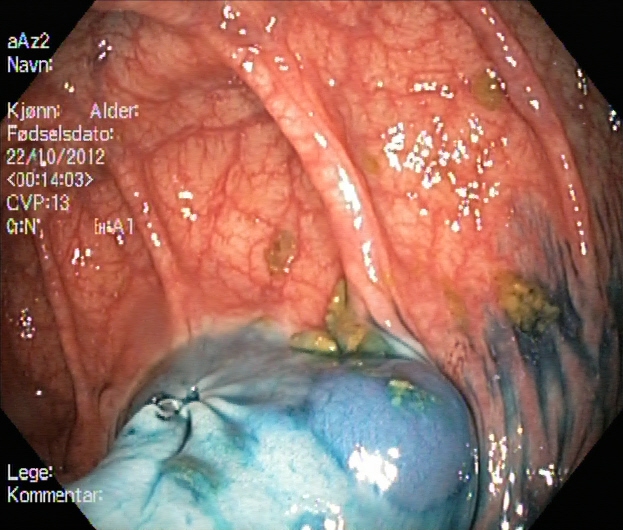dyed resection margins (post-polypectomy).